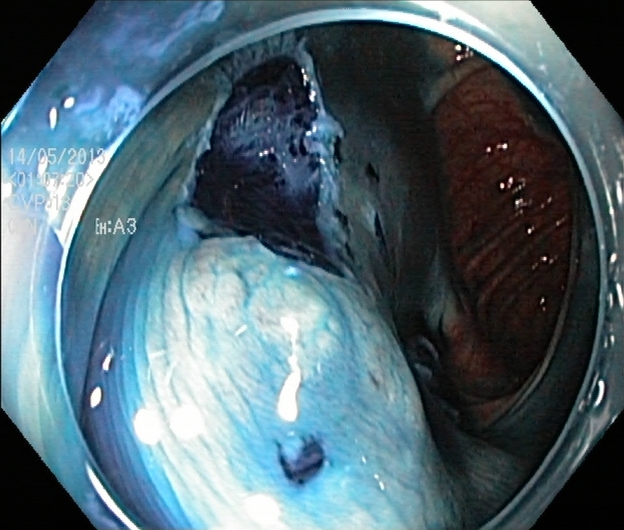Dyed resection margins (post-polypectomy).